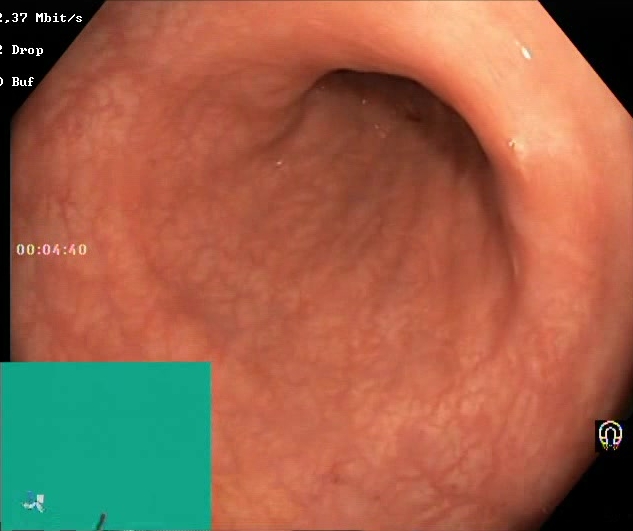Colonoscopy. Finding: Boston Bowel Preparation Scale score 2–3 (adequate preparation).